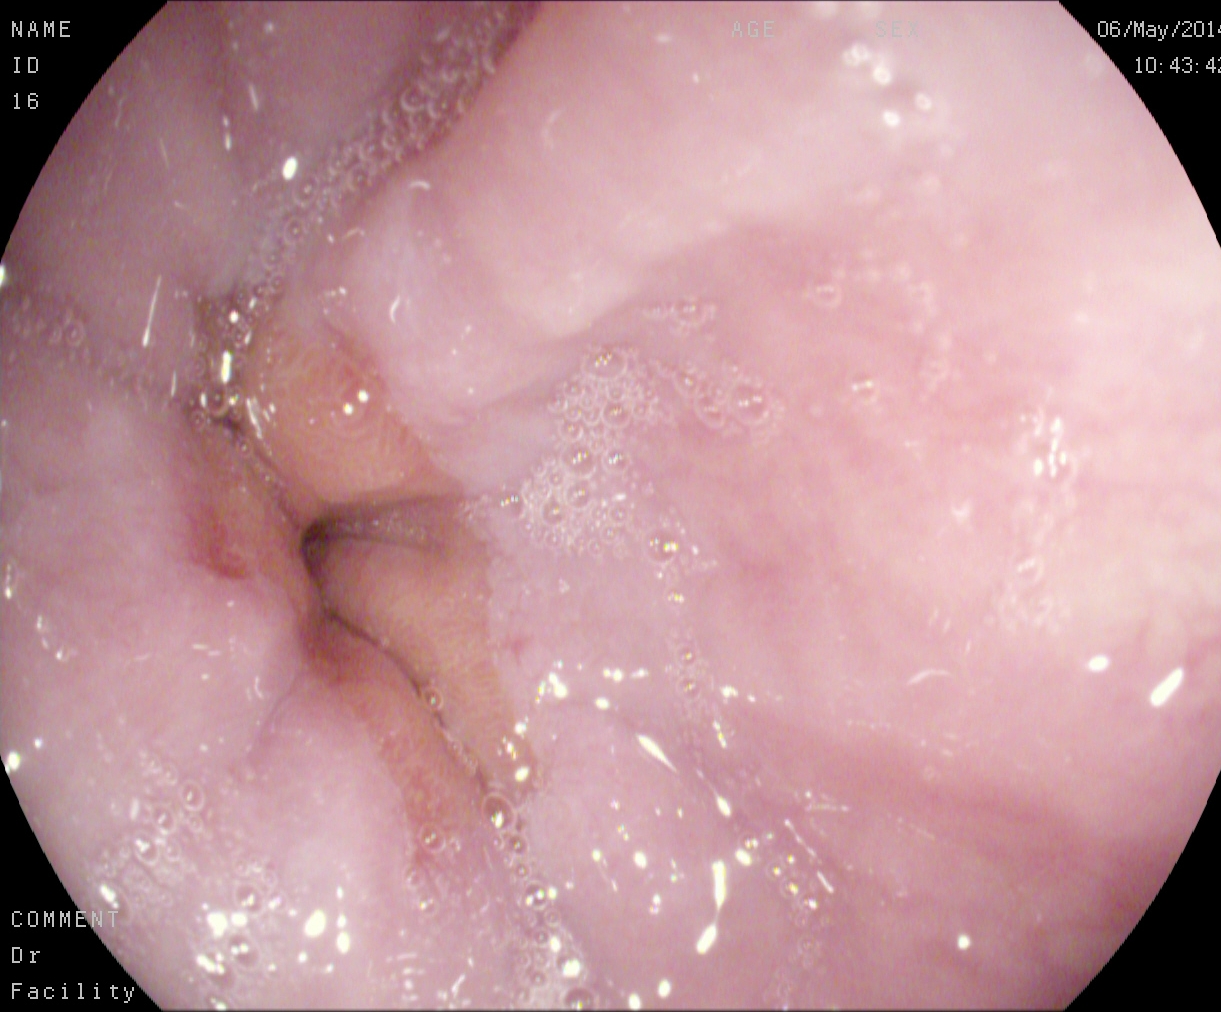Z-line (gastroesophageal junction).